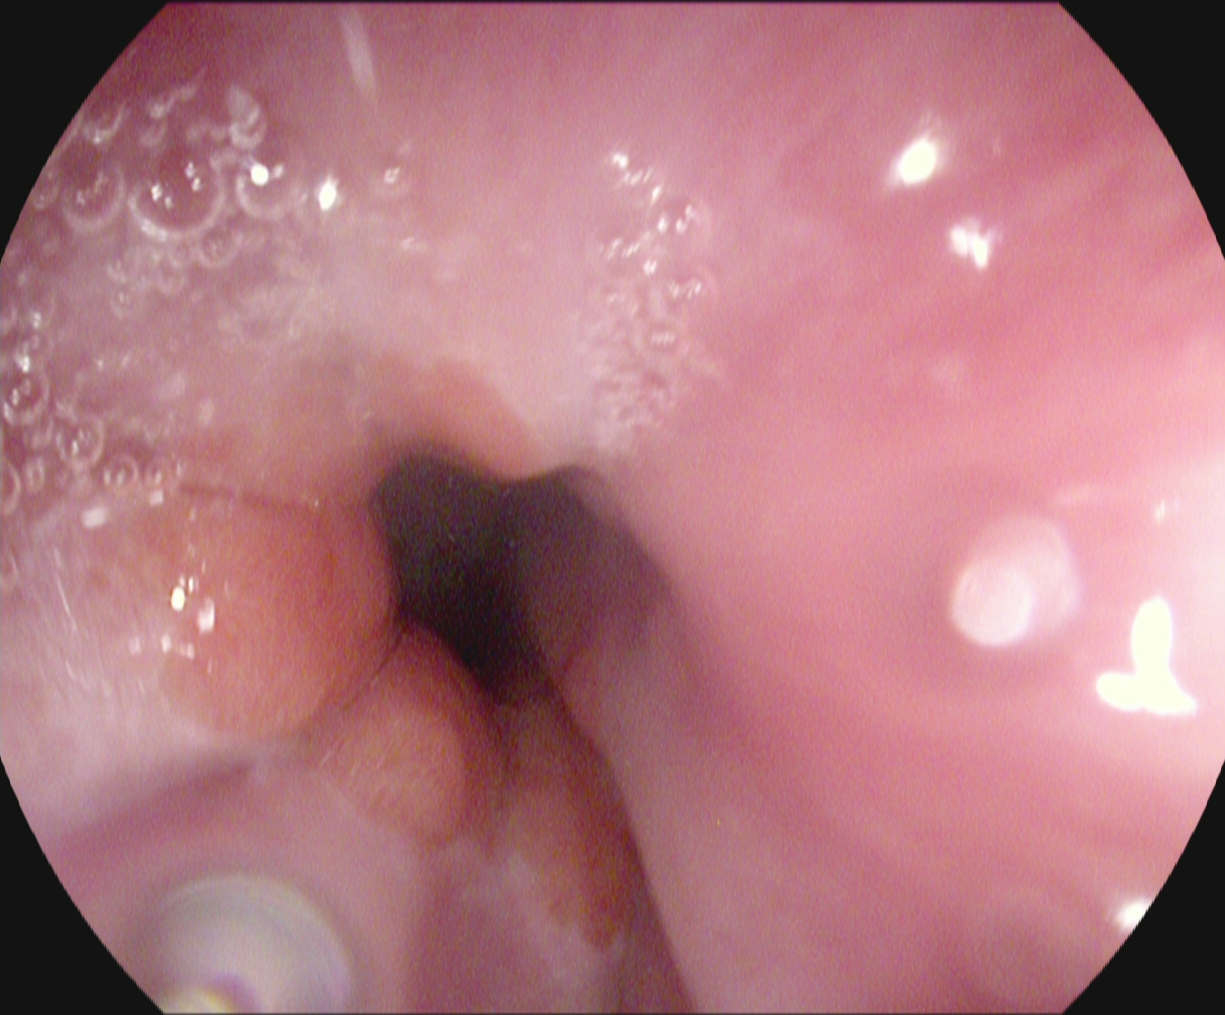{"modality": "upper-GI endoscopy", "finding": "Z-line (gastroesophageal junction)"}